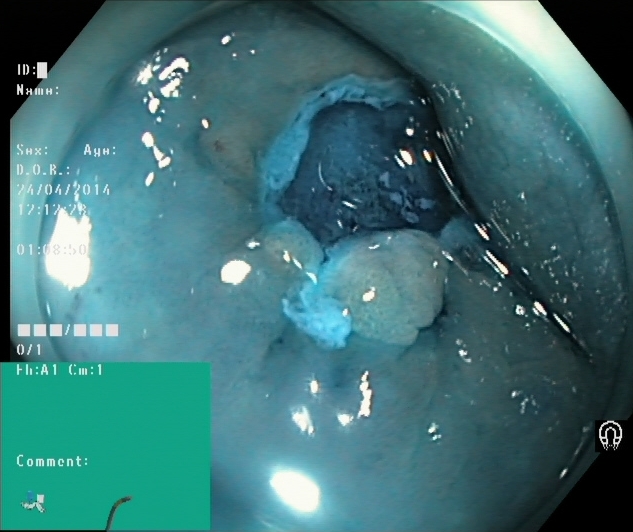Lower gastrointestinal endoscopy. Tract: lower GI tract. Finding: dyed and lifted polyp (pre-resection).